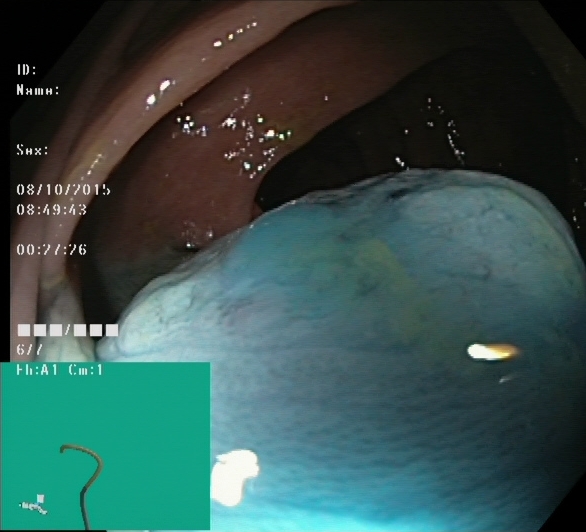{"modality": "lower-GI endoscopy", "category": "therapeutic intervention", "finding": "dyed and lifted polyp (pre-resection)"}